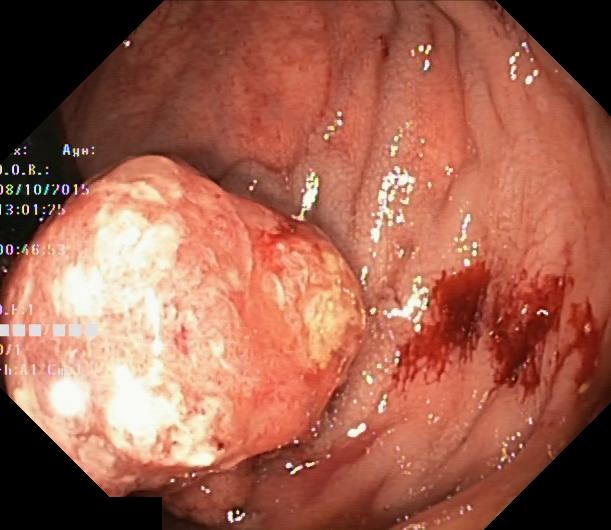Colorectal polyp(s).